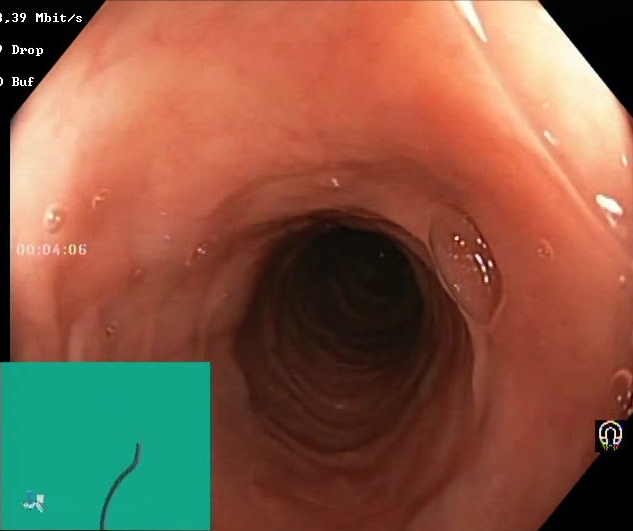PROCEDURE: Colonoscopy.
FINDINGS: Boston Bowel Preparation Scale score 2–3 (adequate preparation).